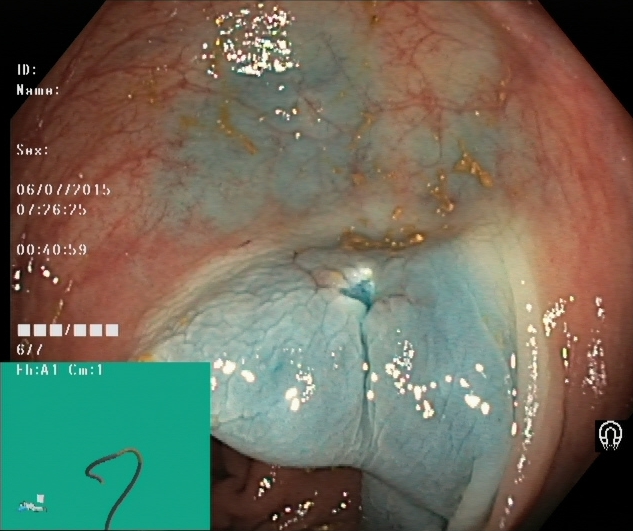Dyed resection margins (post-polypectomy).